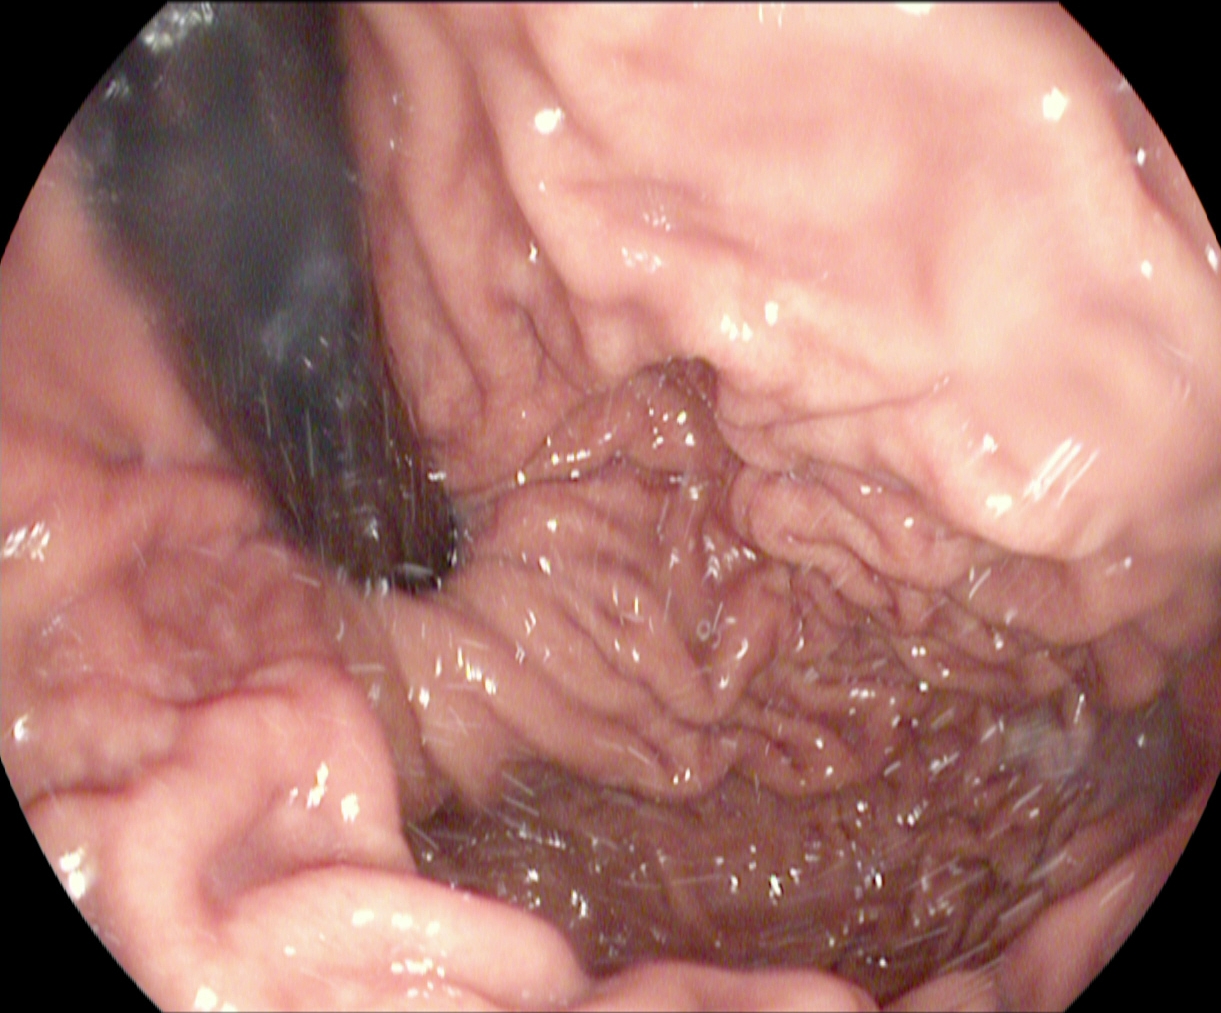Upper-GI endoscopy. Anatomical landmark. Finding: stomach in retroflexion.